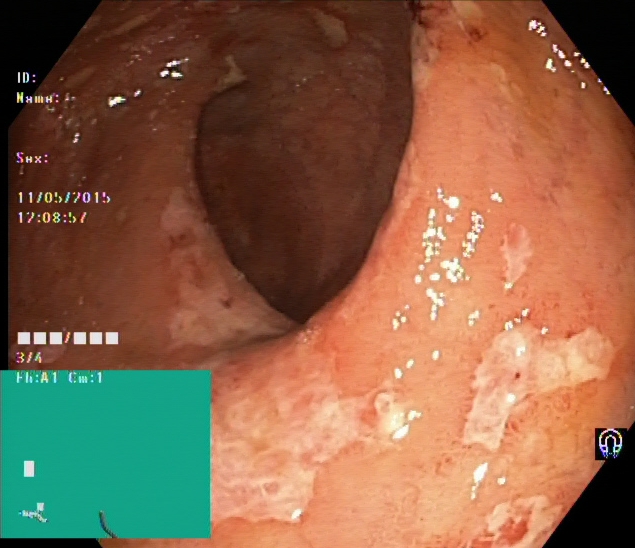Endoscopic image of the lower GI tract showing UC, Mayo endoscopic subscore 1.